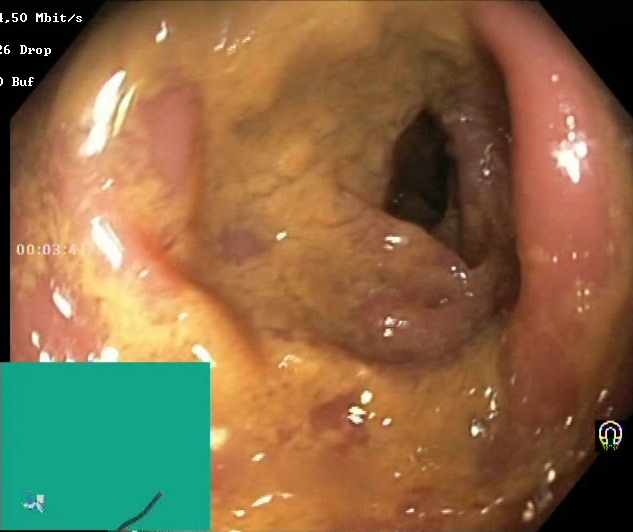modality: lower-GI endoscopy | tract: lower GI tract | finding: BBPS score 0–1 (inadequate preparation)